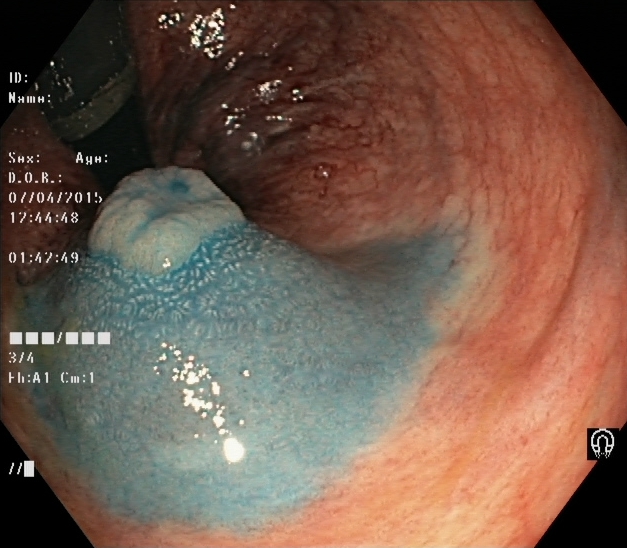GI endoscopy image of the lower GI tract showing dyed and lifted polyp (pre-resection).